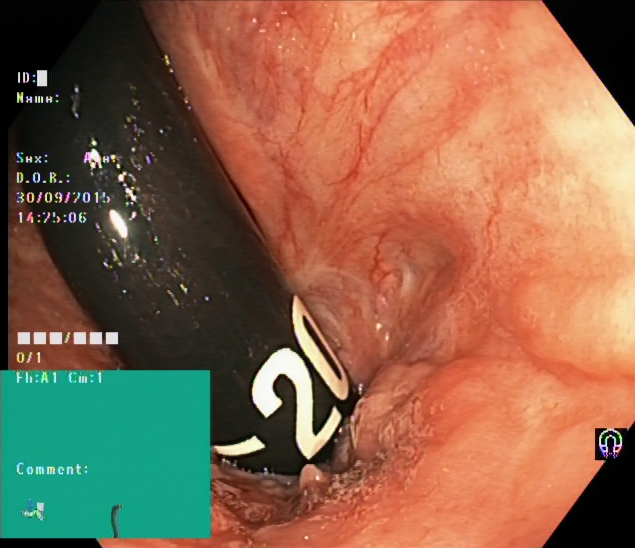Lower gastrointestinal endoscopy. Tract: lower GI tract. Anatomical landmark. Finding: rectum in retroflexion.